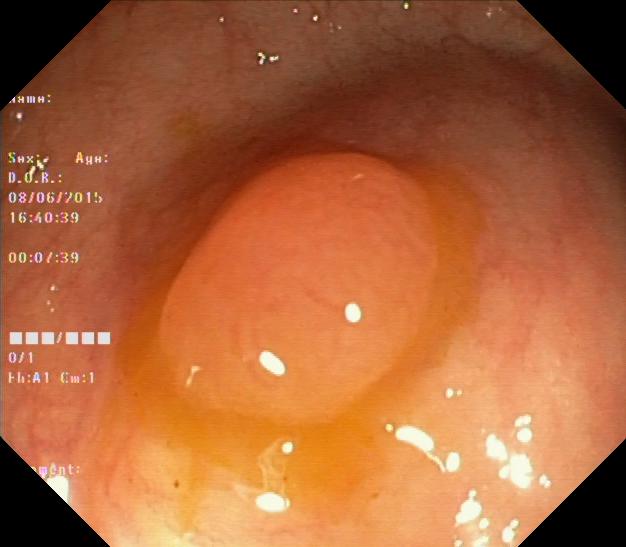This endoscopic image of the lower GI tract shows colorectal polyp(s).